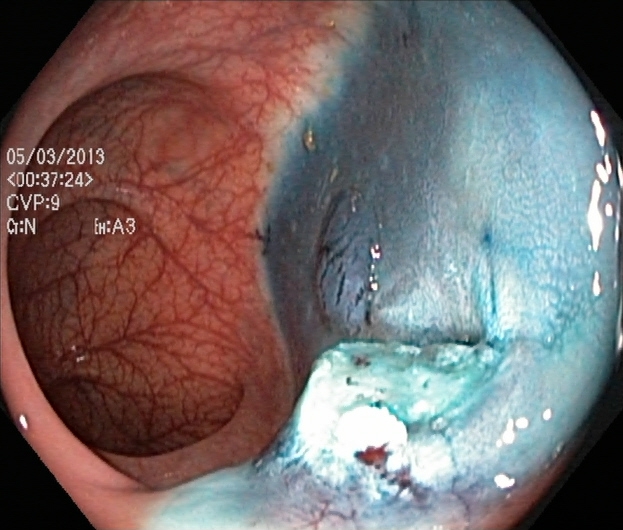Lower-GI endoscopy. Tract: lower GI tract. Finding: dyed and lifted polyp (pre-resection).